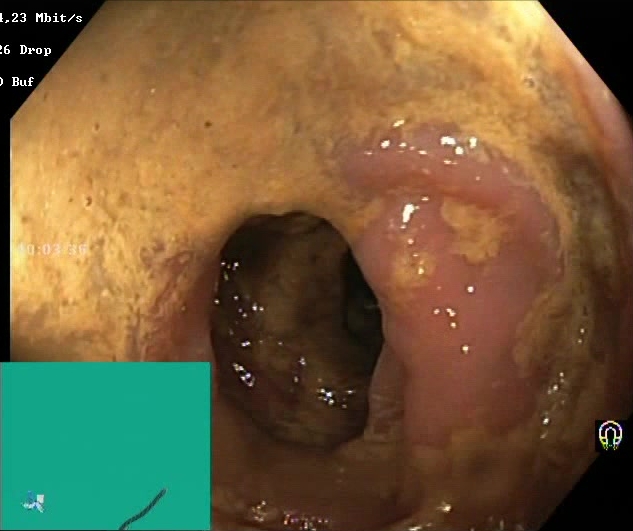This endoscopic image of the lower GI tract shows Boston Bowel Preparation Scale score 0–1 (inadequate preparation).